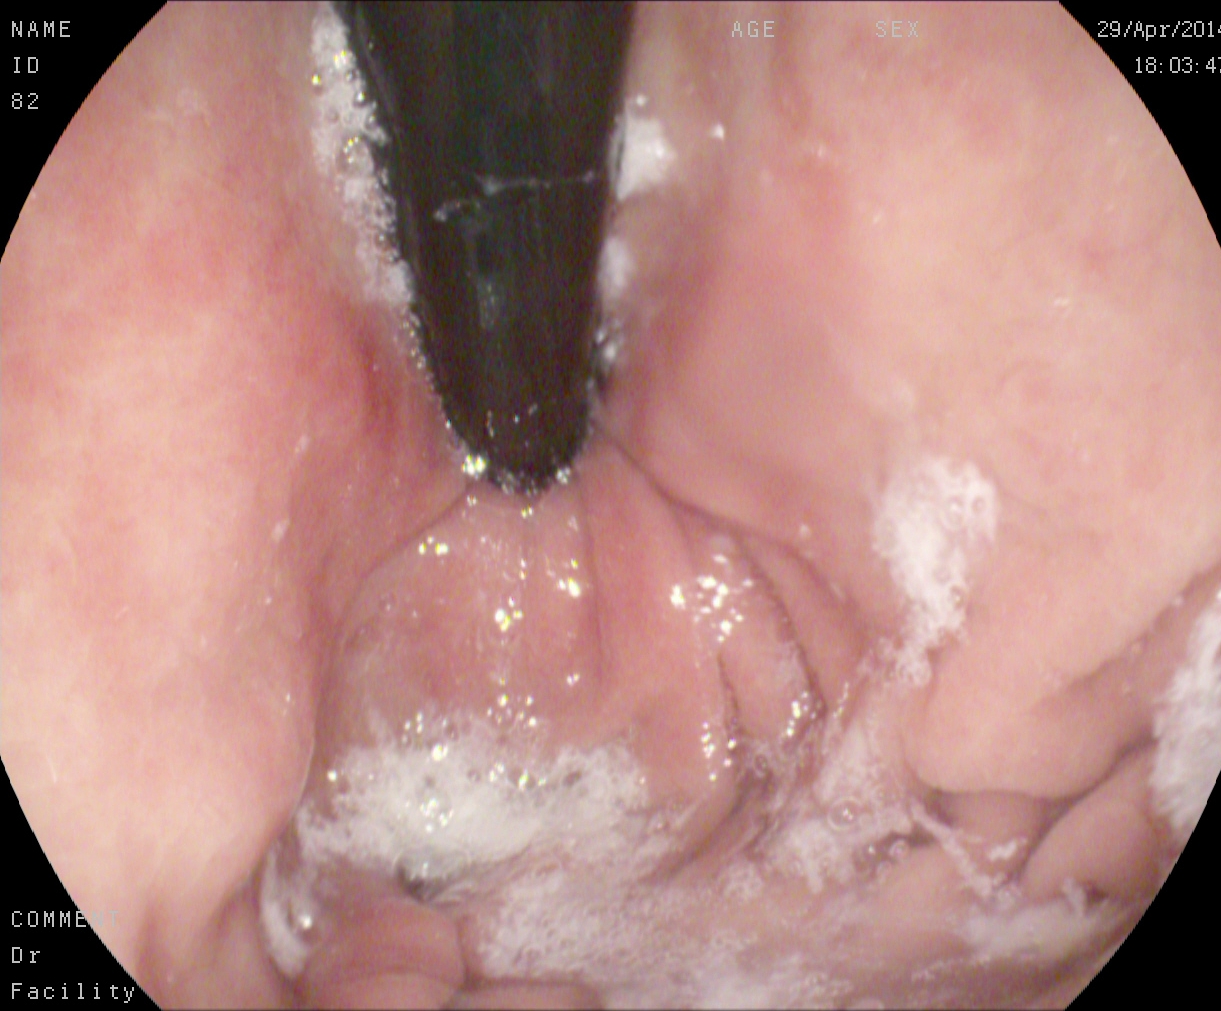Stomach in retroflexion.